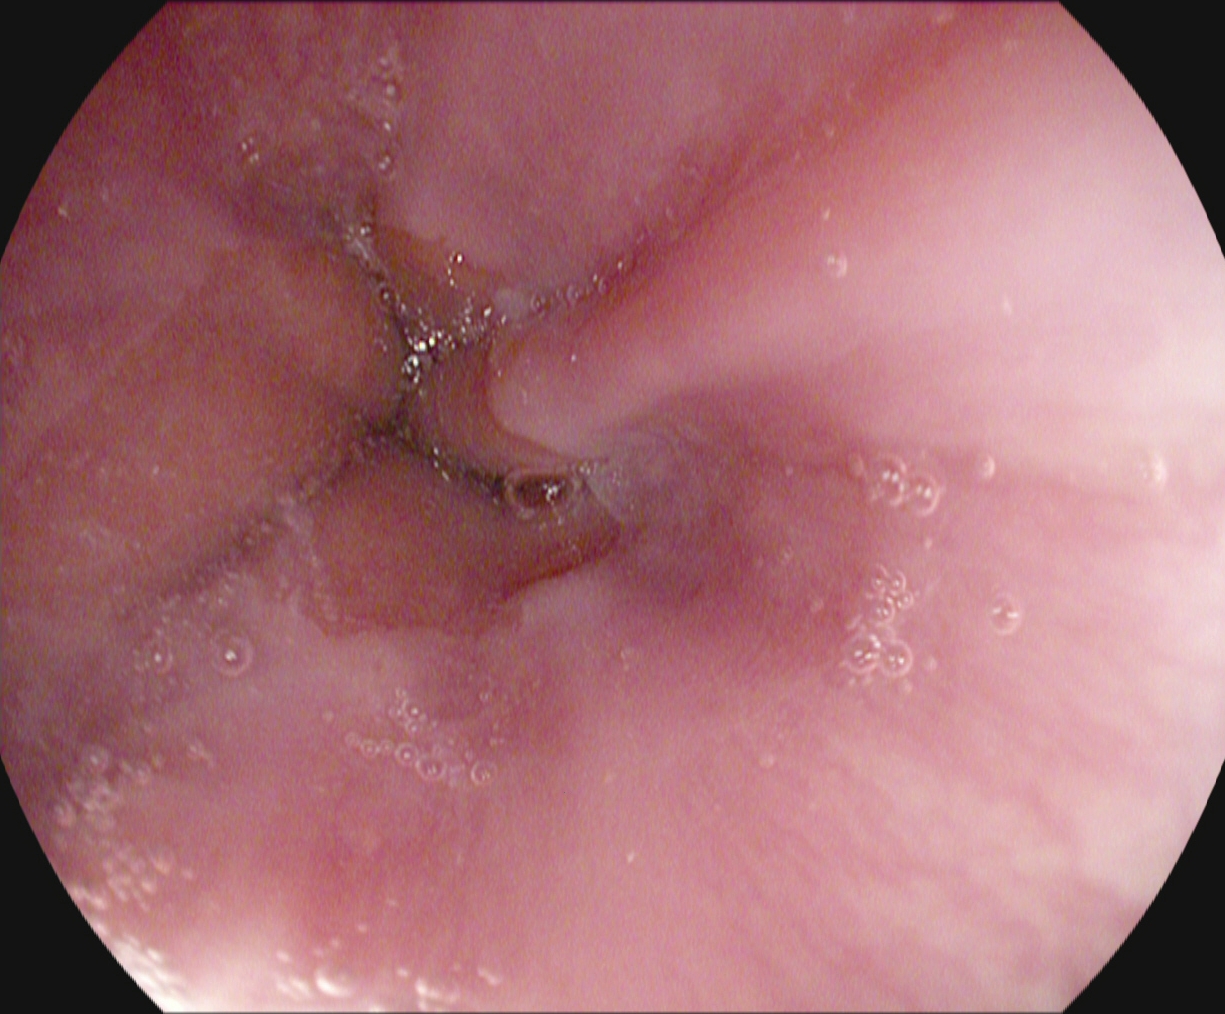Endoscopic frame of the upper GI tract showing Z-line (gastroesophageal junction).